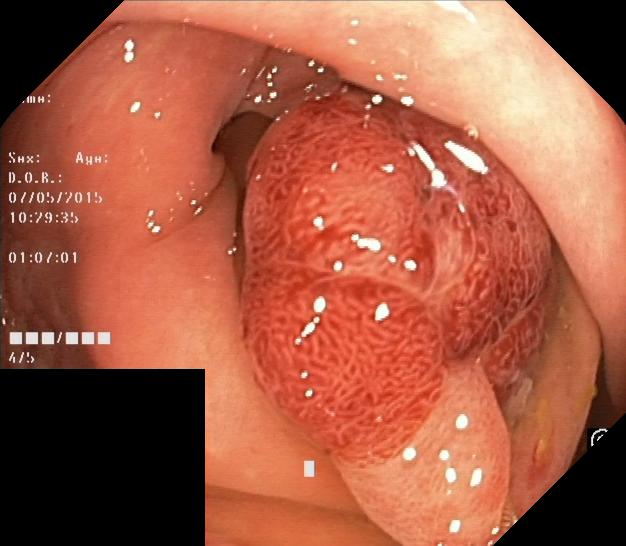PROCEDURE: Lower-GI endoscopy.
CATEGORY: Pathological finding.
FINDINGS: Colorectal polyp(s).